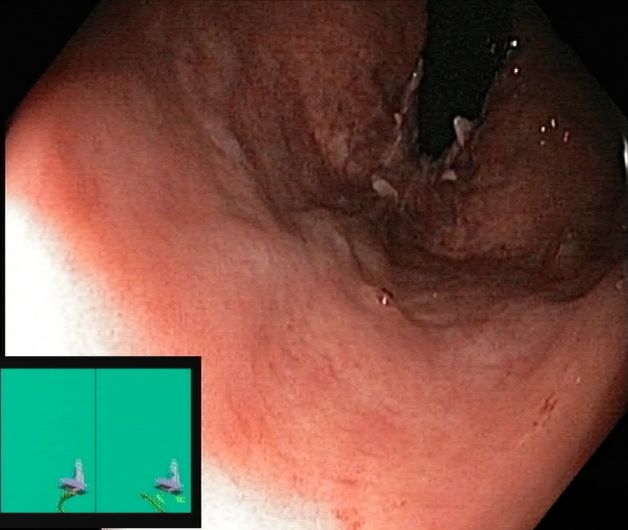Colonoscopy. Anatomical landmark. Finding: rectum in retroflexion.